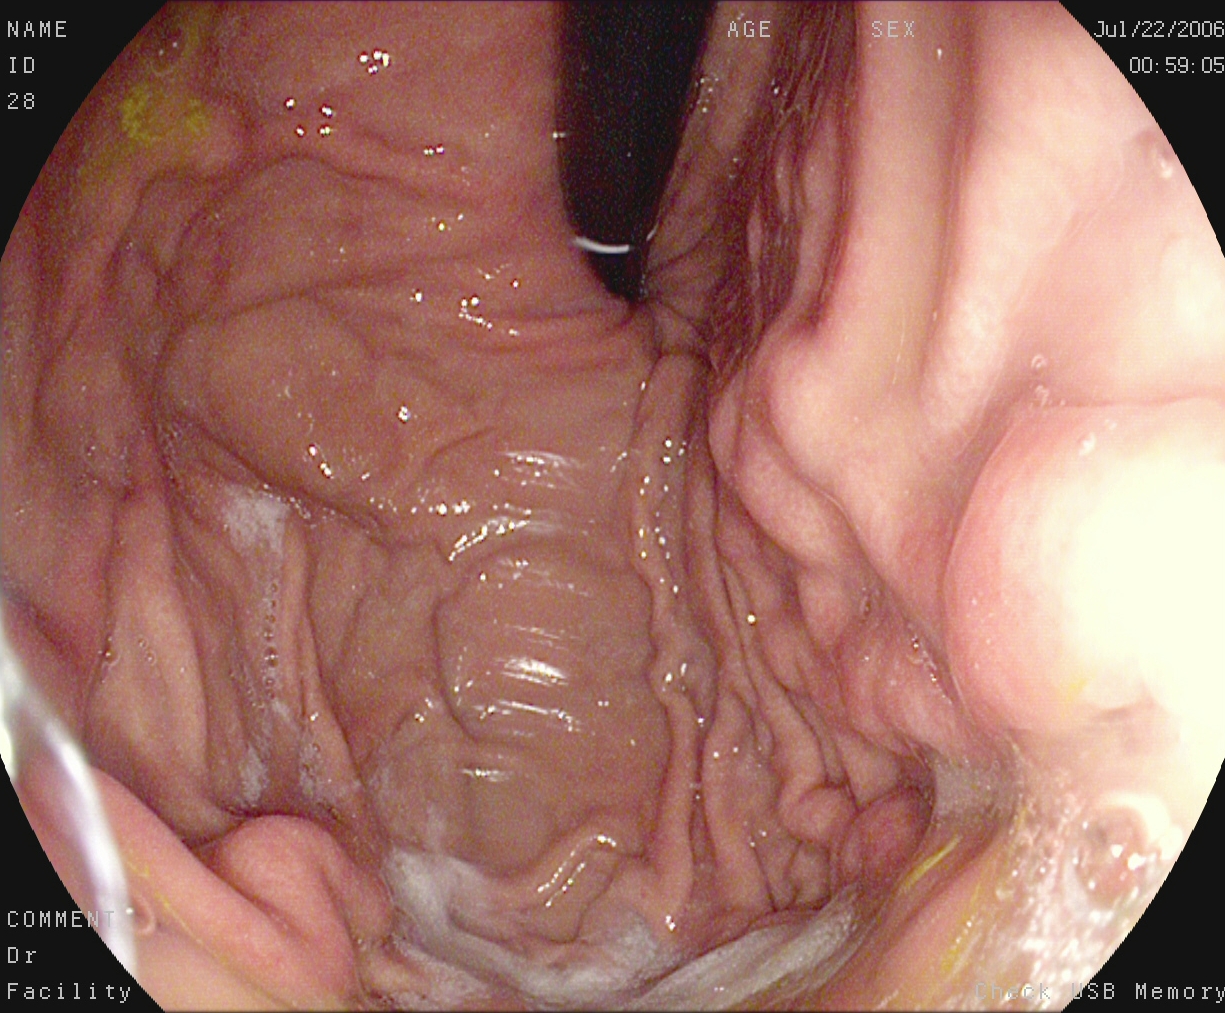PROCEDURE: Esophagogastroduodenoscopy.
CATEGORY: Anatomical landmark.
FINDINGS: Stomach in retroflexion.